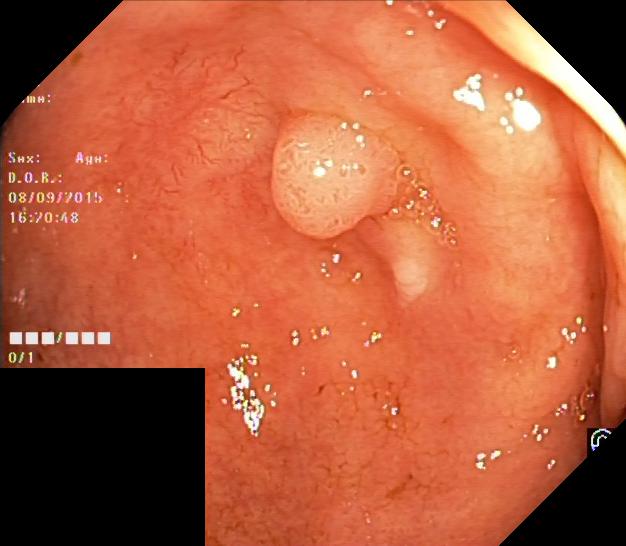Colonoscopy. Pathological finding. Finding: colorectal polyp(s).